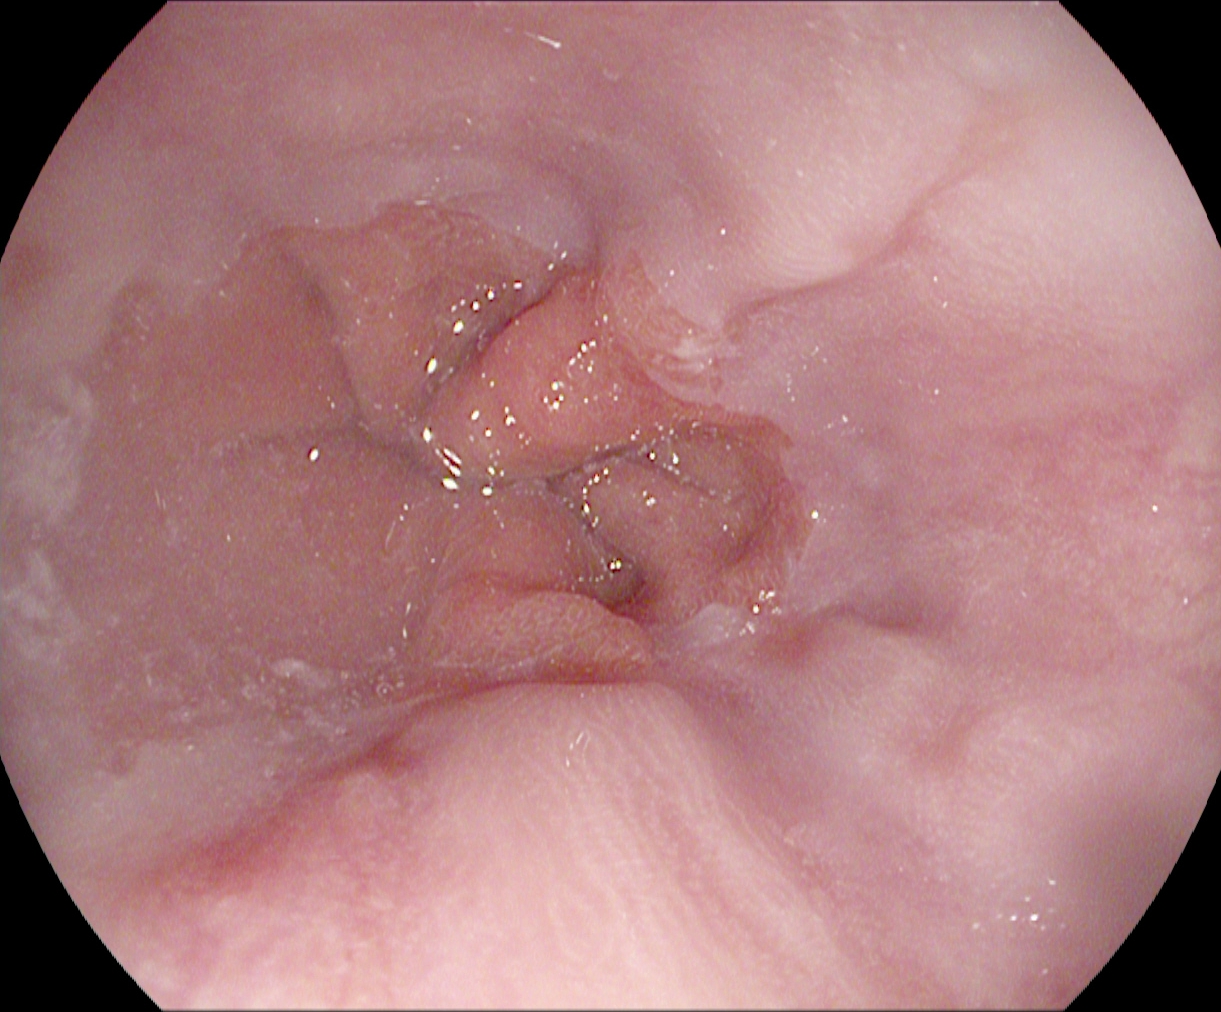PROCEDURE: Gastroscopy.
CATEGORY: Anatomical landmark.
FINDINGS: Z-line (gastroesophageal junction).